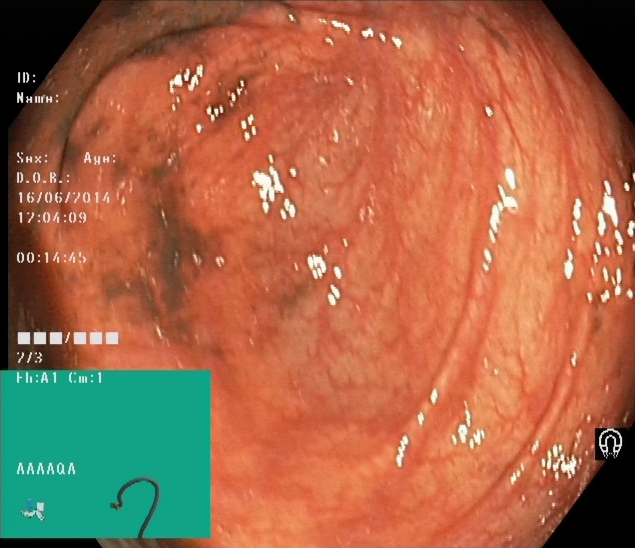GI endoscopy image showing cecum.